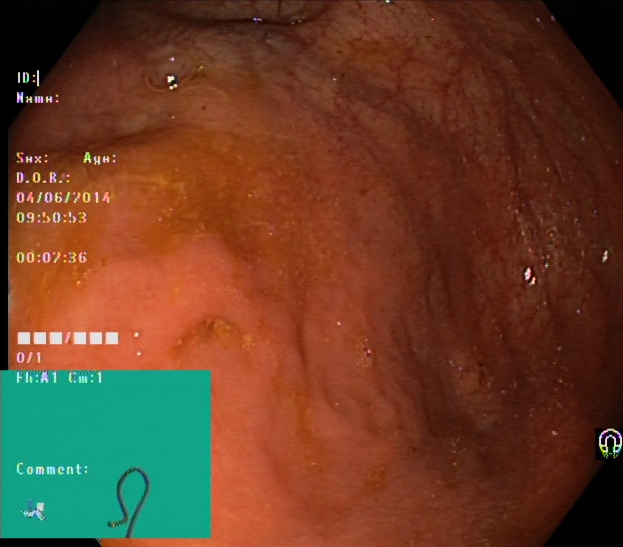Cecum.